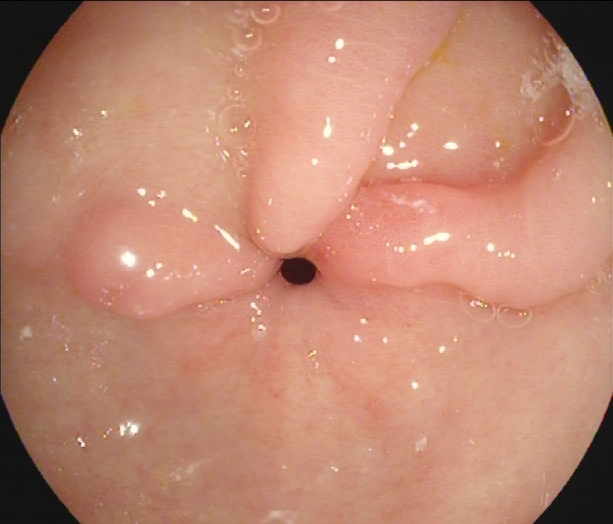{"modality": "EGD", "finding": "pylorus"}